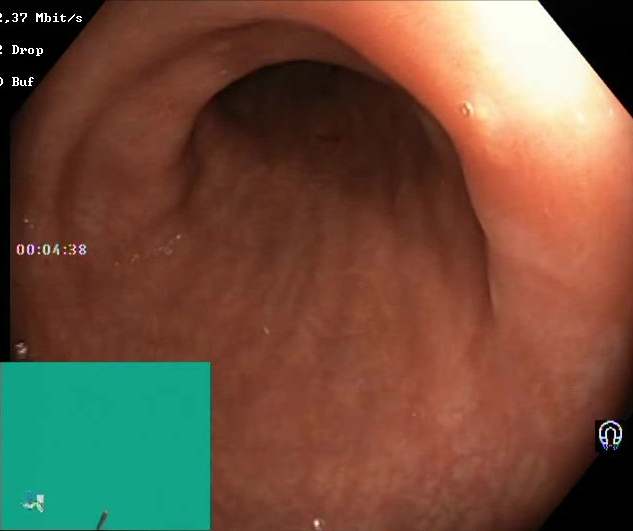{"modality": "lower gastrointestinal endoscopy", "tract": "lower GI tract", "finding": "BBPS score 2\u20133 (adequate preparation)"}